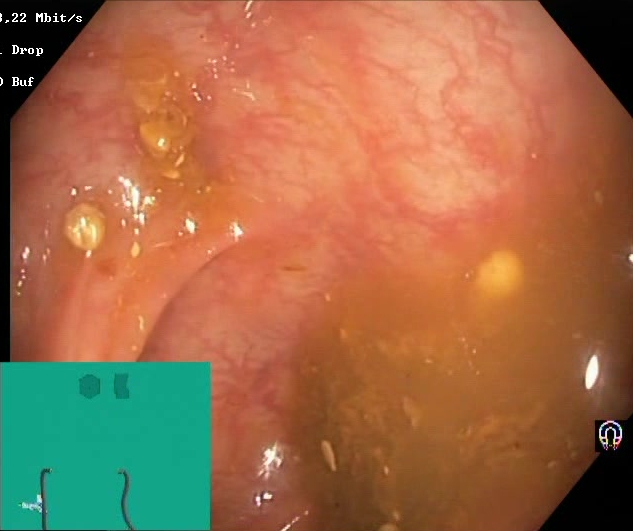modality: lower gastrointestinal endoscopy; tract: lower GI tract; category: mucosal-view quality; finding: Boston Bowel Preparation Scale score 0–1 (inadequate preparation)